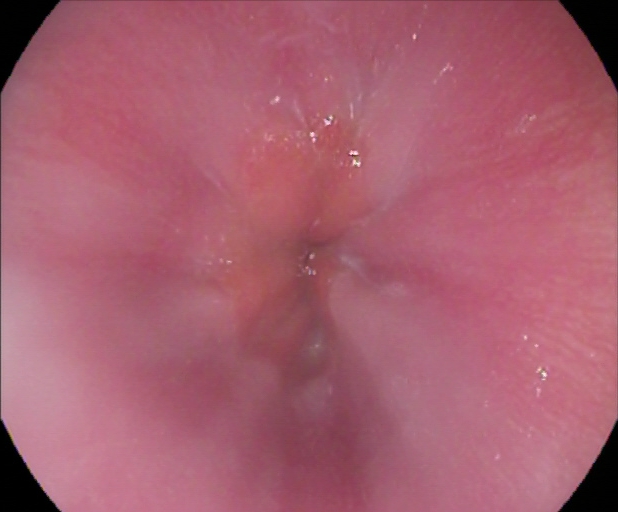Upper-GI endoscopy — Z-line (gastroesophageal junction).